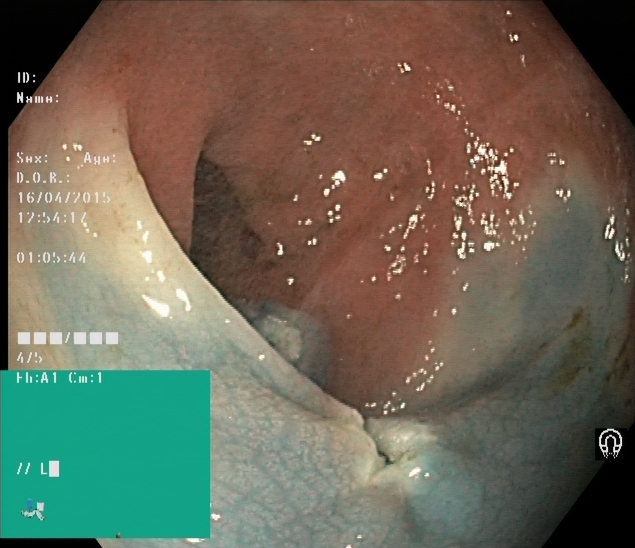{"modality": "lower-GI endoscopy", "tract": "lower GI tract", "finding": "dyed resection margins (post-polypectomy)"}